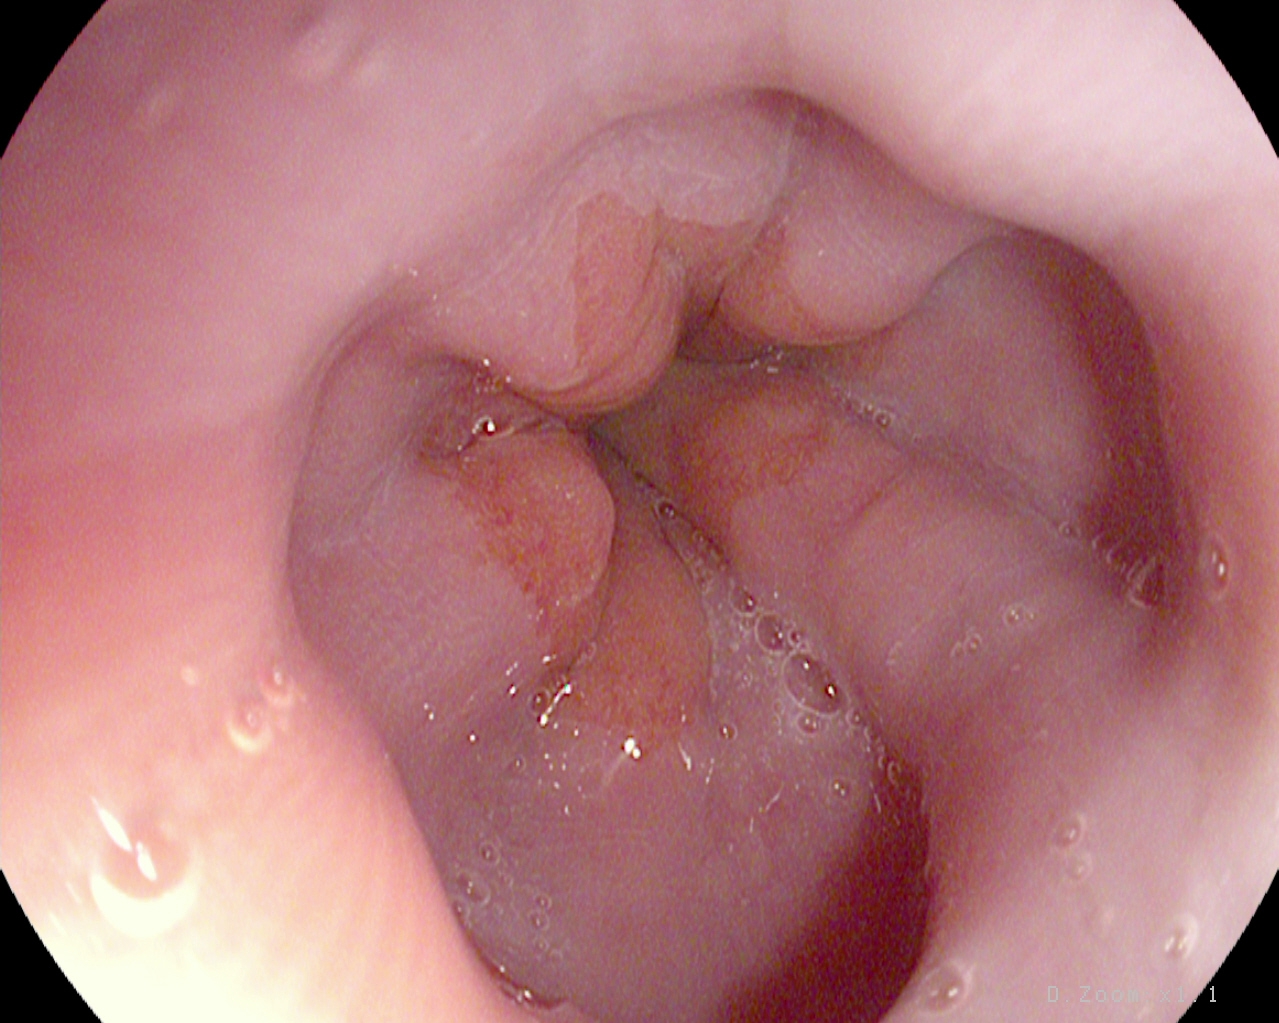This endoscopic image of the upper GI tract shows Z-line (gastroesophageal junction).